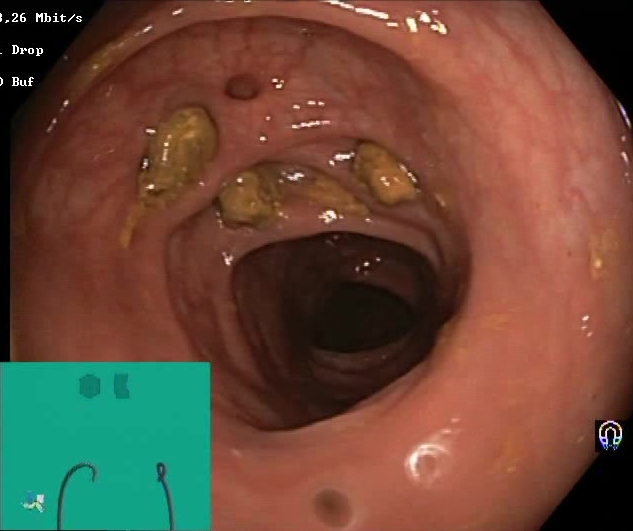Endoscopy image of the lower GI tract showing impacted stool.